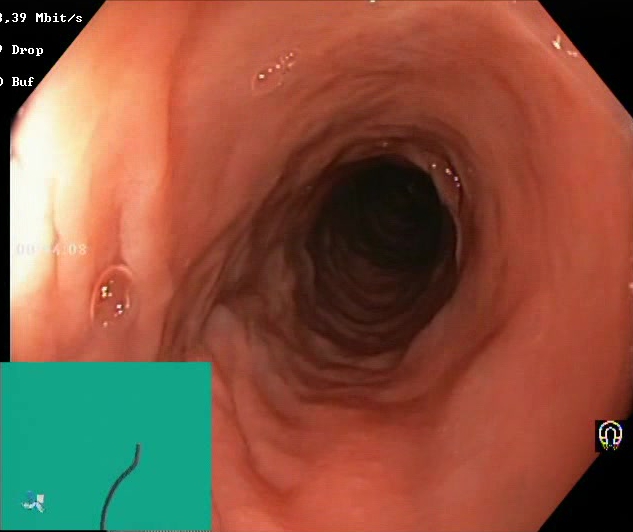This endoscopy frame of the lower GI tract shows Boston Bowel Preparation Scale score 2–3 (adequate preparation).